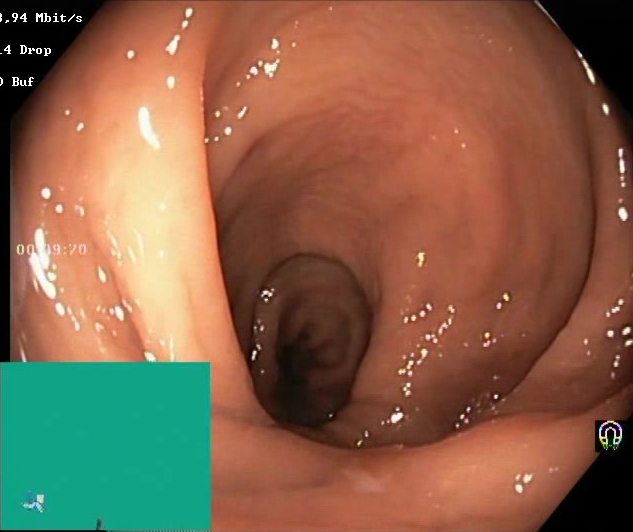Lower-GI endoscopy image showing BBPS score 2–3 (adequate preparation).